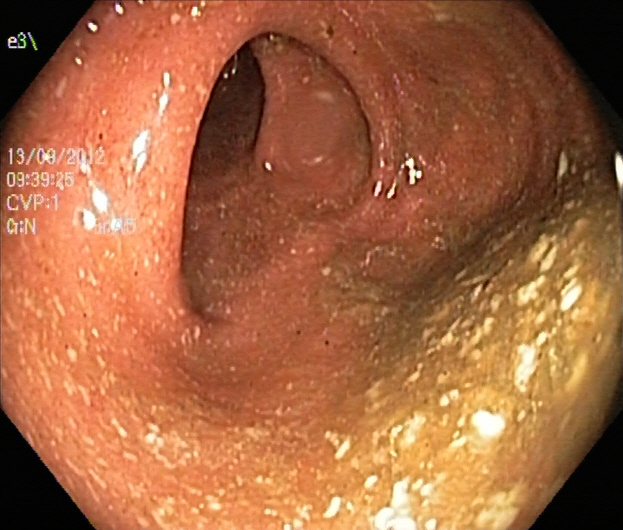{"modality": "colonoscopy", "tract": "lower GI tract", "finding": "Boston Bowel Preparation Scale score 0\u20131 (inadequate preparation)"}